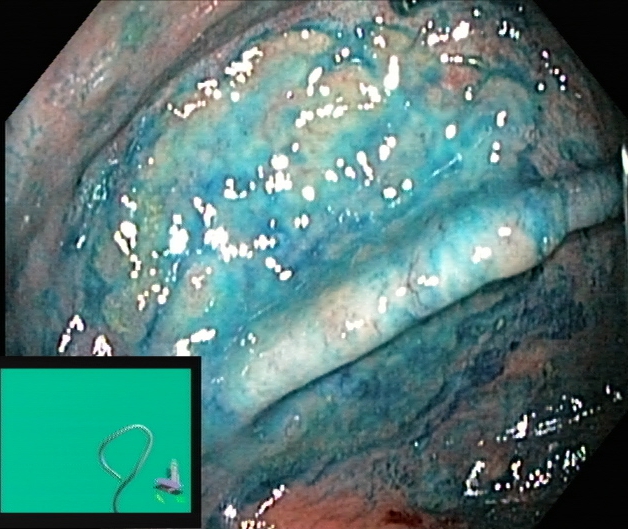Dyed and lifted polyp (pre-resection).